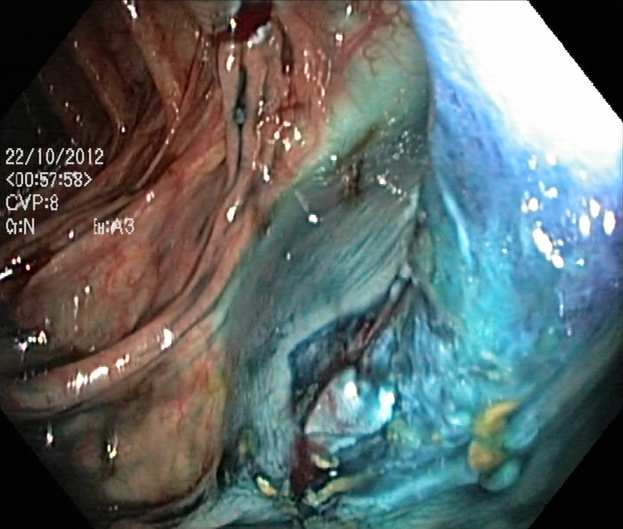Dyed resection margins (post-polypectomy).